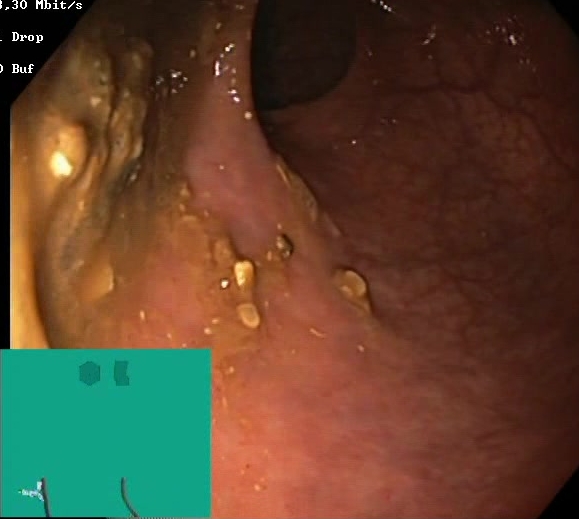Lower gastrointestinal endoscopy. Tract: lower GI tract. Finding: Boston Bowel Preparation Scale score 0–1 (inadequate preparation).